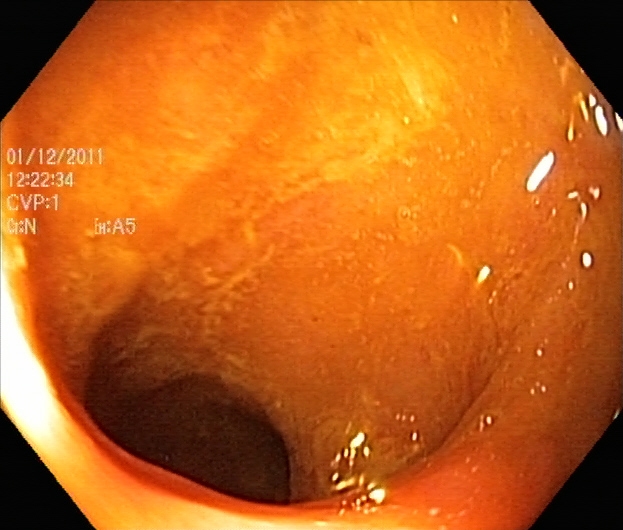{"modality": "lower gastrointestinal endoscopy", "tract": "lower GI tract", "finding": "ulcerative colitis, Mayo endoscopic subscore 1"}